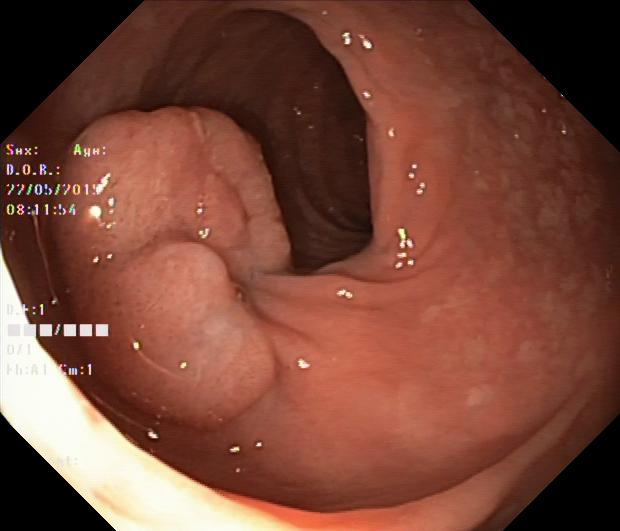PROCEDURE: Lower gastrointestinal endoscopy.
CATEGORY: Pathological finding.
FINDINGS: Colorectal polyp(s).